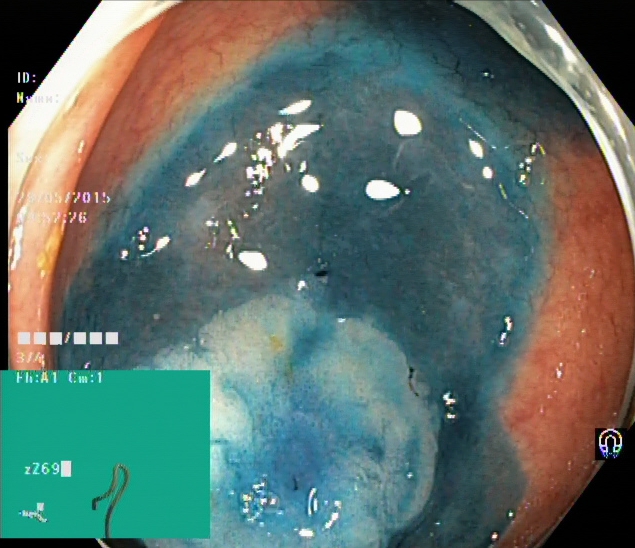dyed and lifted polyp (pre-resection).